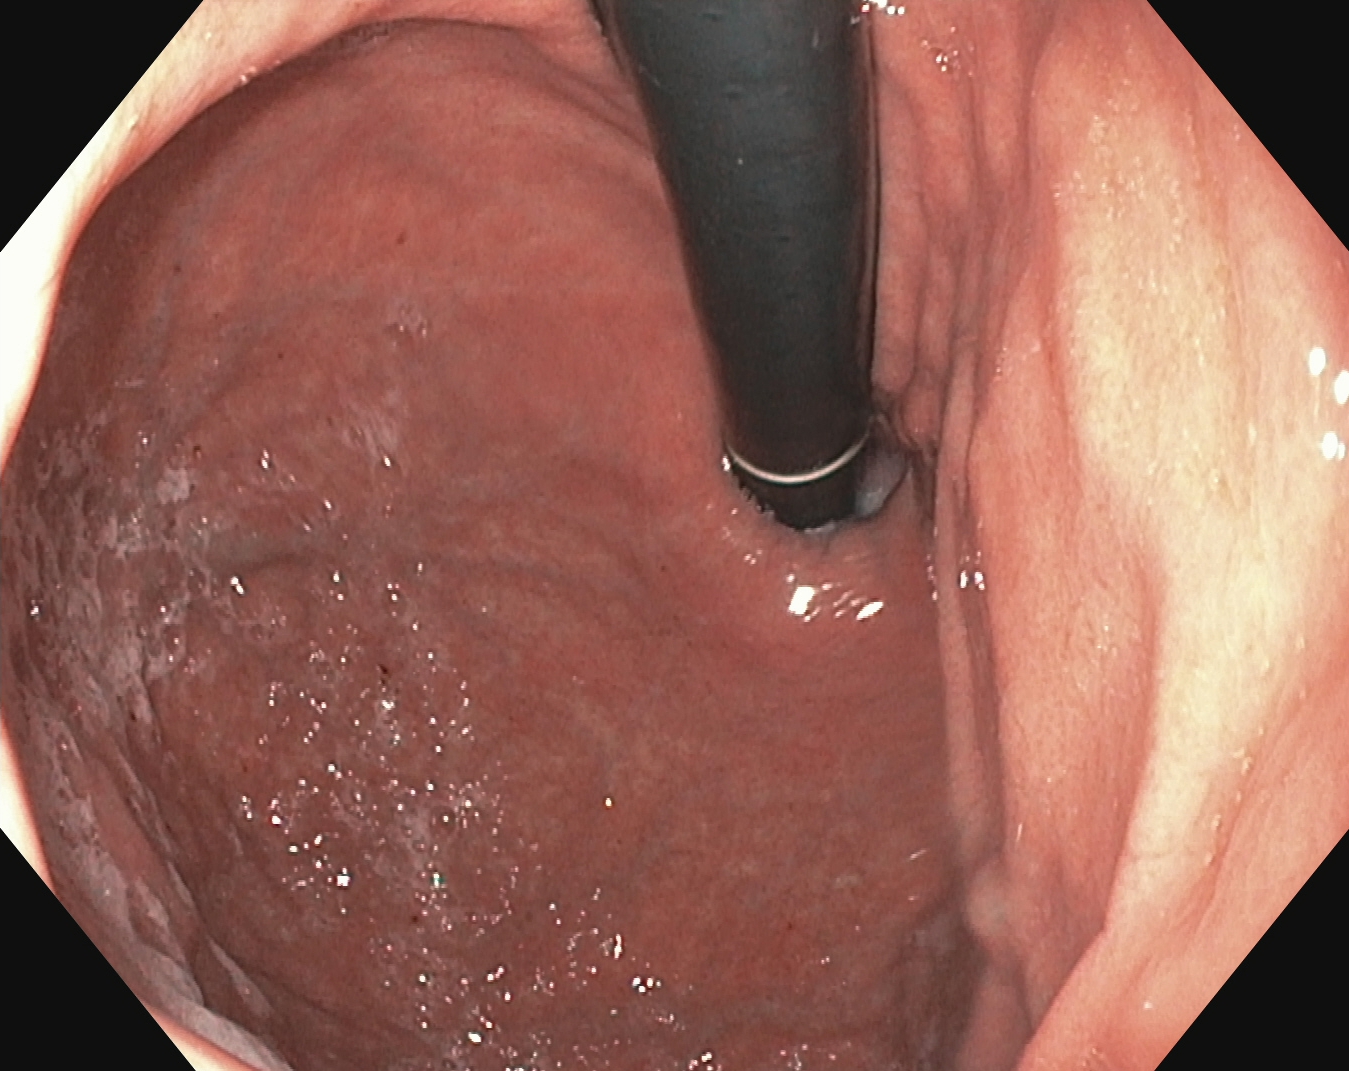GI endoscopy image showing stomach in retroflexion.